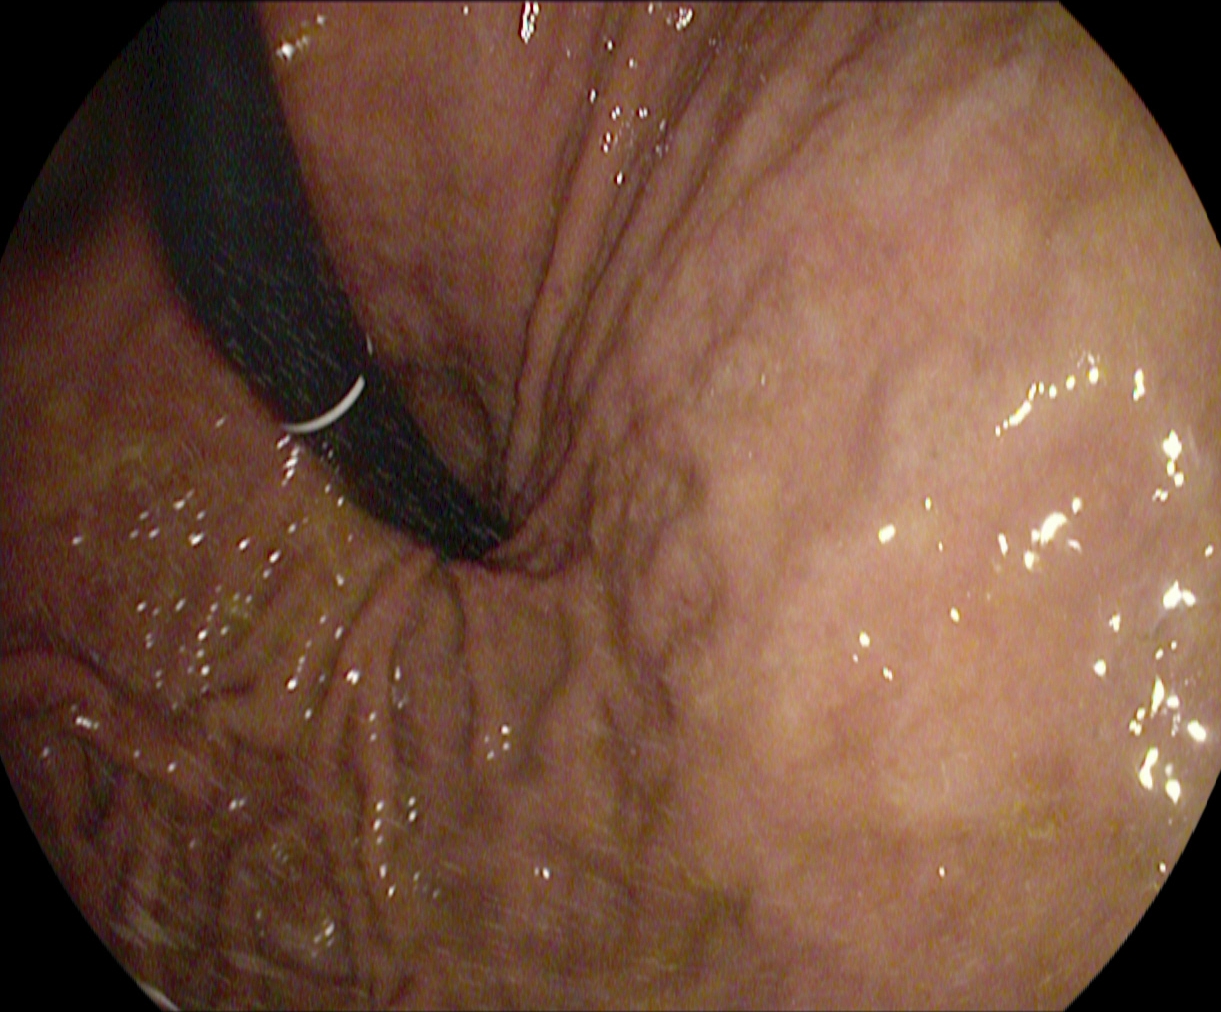EGD. Anatomical landmark. Finding: stomach in retroflexion.